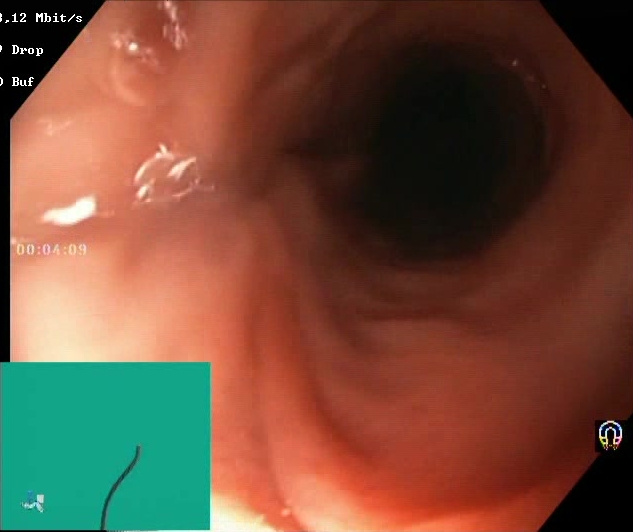Colonoscopy image of the lower GI tract showing Boston Bowel Preparation Scale score 2–3 (adequate preparation).